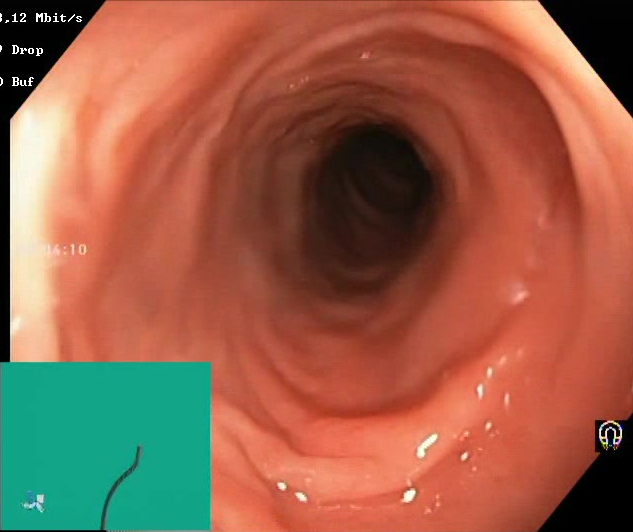Lower gastrointestinal endoscopy. Tract: lower GI tract. Mucosal-view quality. Finding: BBPS score 2–3 (adequate preparation).